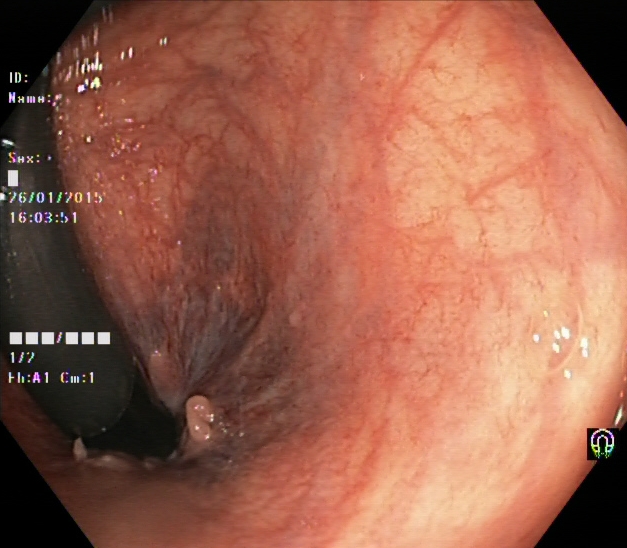{"modality": "lower gastrointestinal endoscopy", "tract": "lower GI tract", "category": "anatomical landmark", "finding": "rectum in retroflexion"}